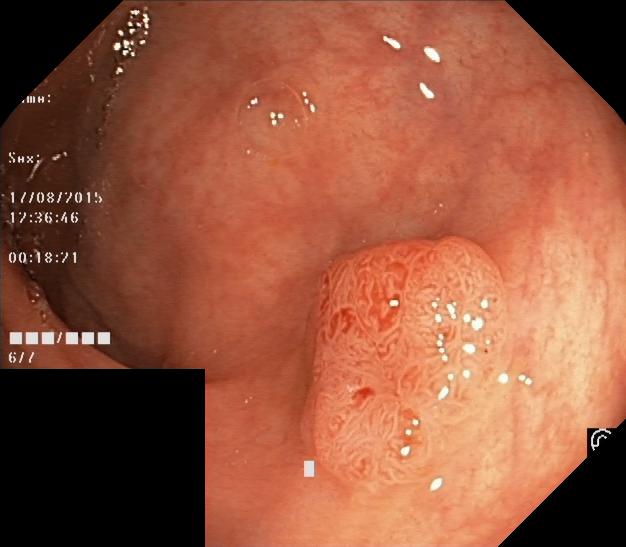Lower gastrointestinal endoscopy. Pathological finding. Finding: colorectal polyp(s).